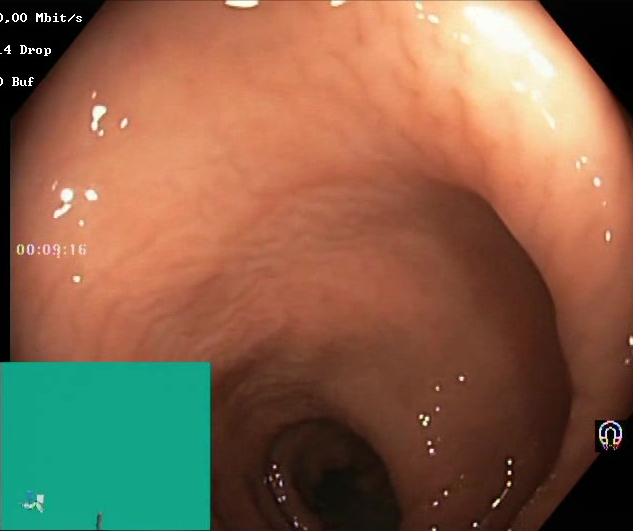BBPS score 2–3 (adequate preparation).